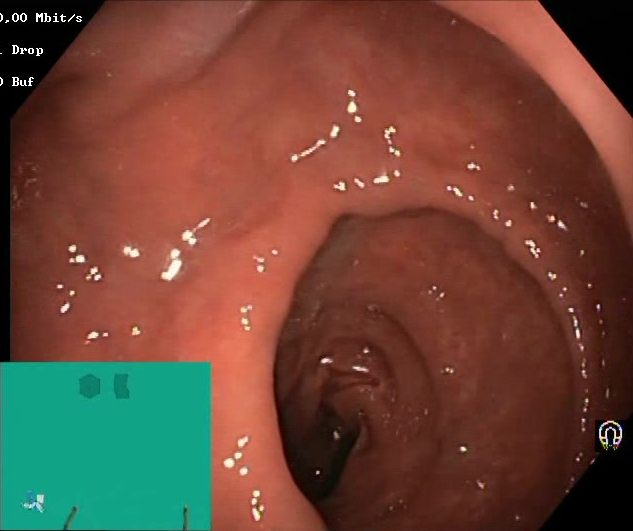Lower gastrointestinal endoscopy image of the lower GI tract showing Boston Bowel Preparation Scale score 2–3 (adequate preparation).